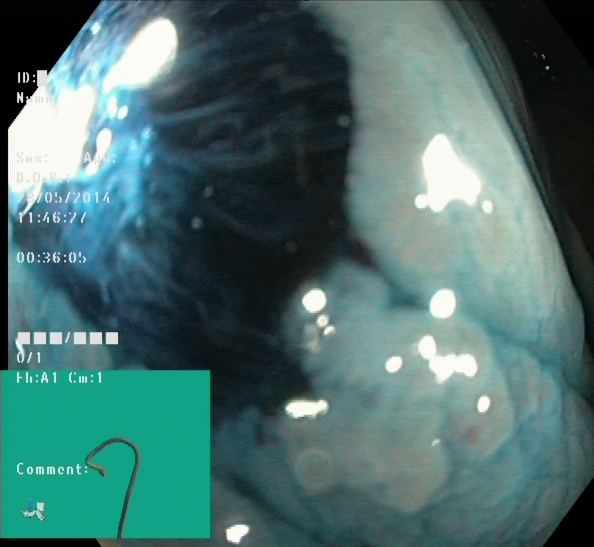PROCEDURE: Colonoscopy.
FINDINGS: Dyed resection margins (post-polypectomy).